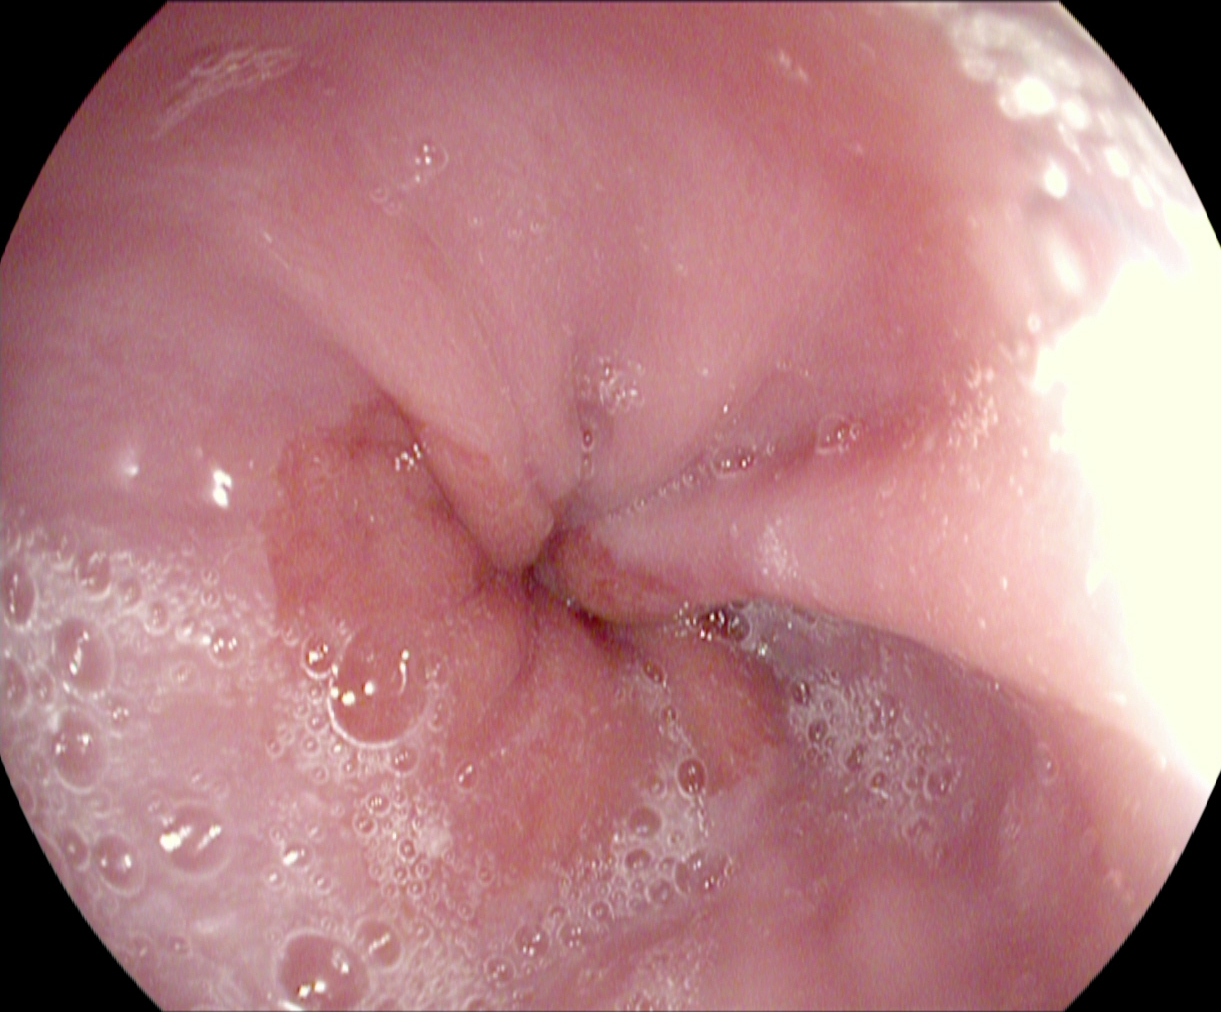Z-line (gastroesophageal junction).